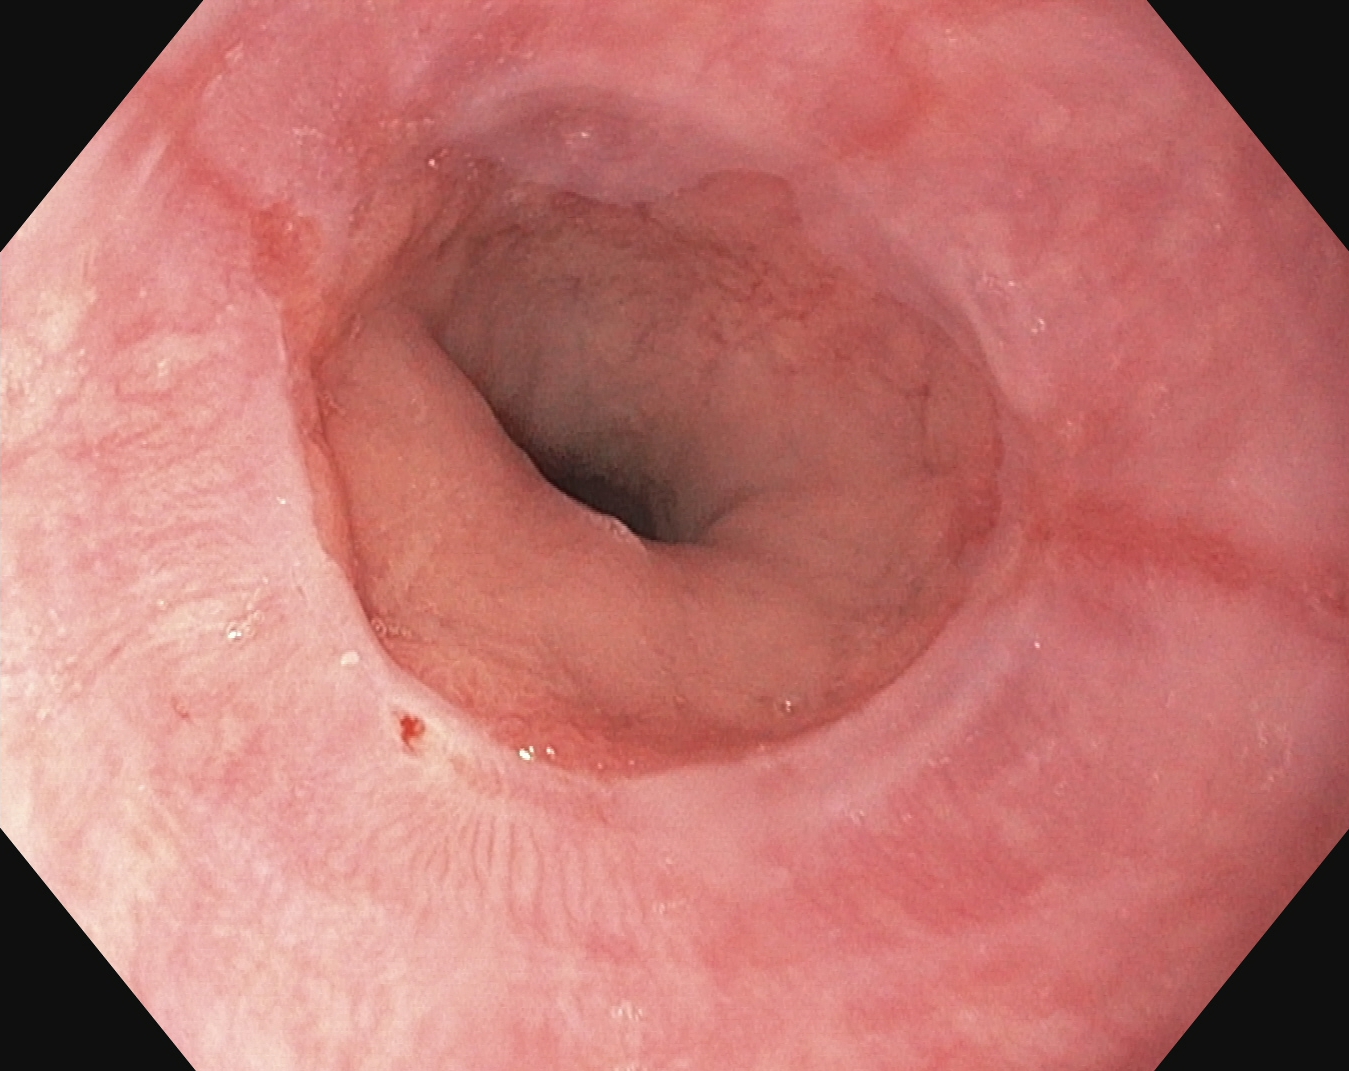reflux esophagitis, Los Angeles grade A.